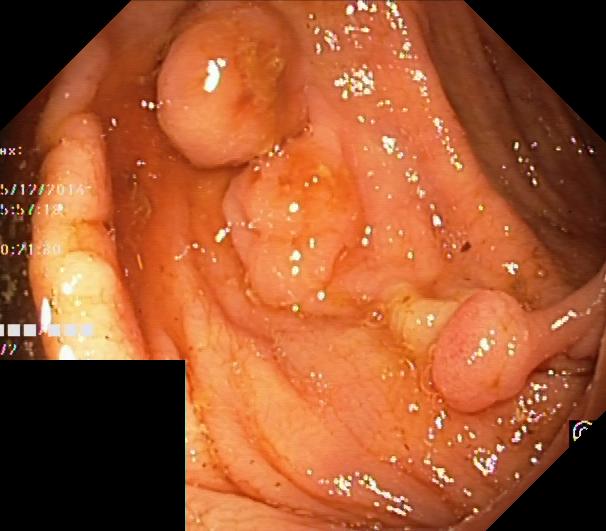Lower-GI endoscopy. Finding: colorectal polyp(s).